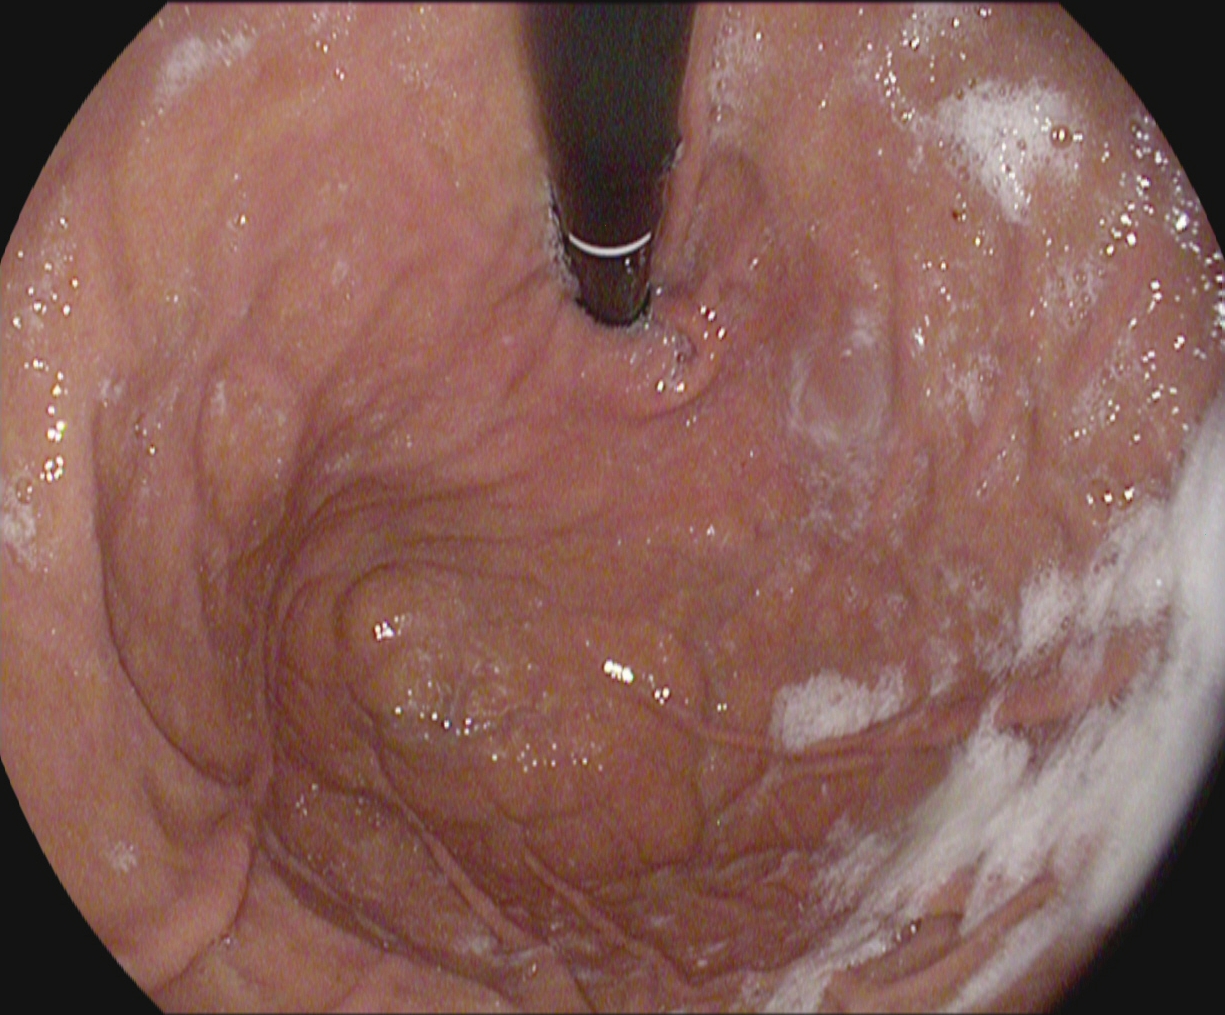This endoscopic image of the upper GI tract shows stomach in retroflexion.